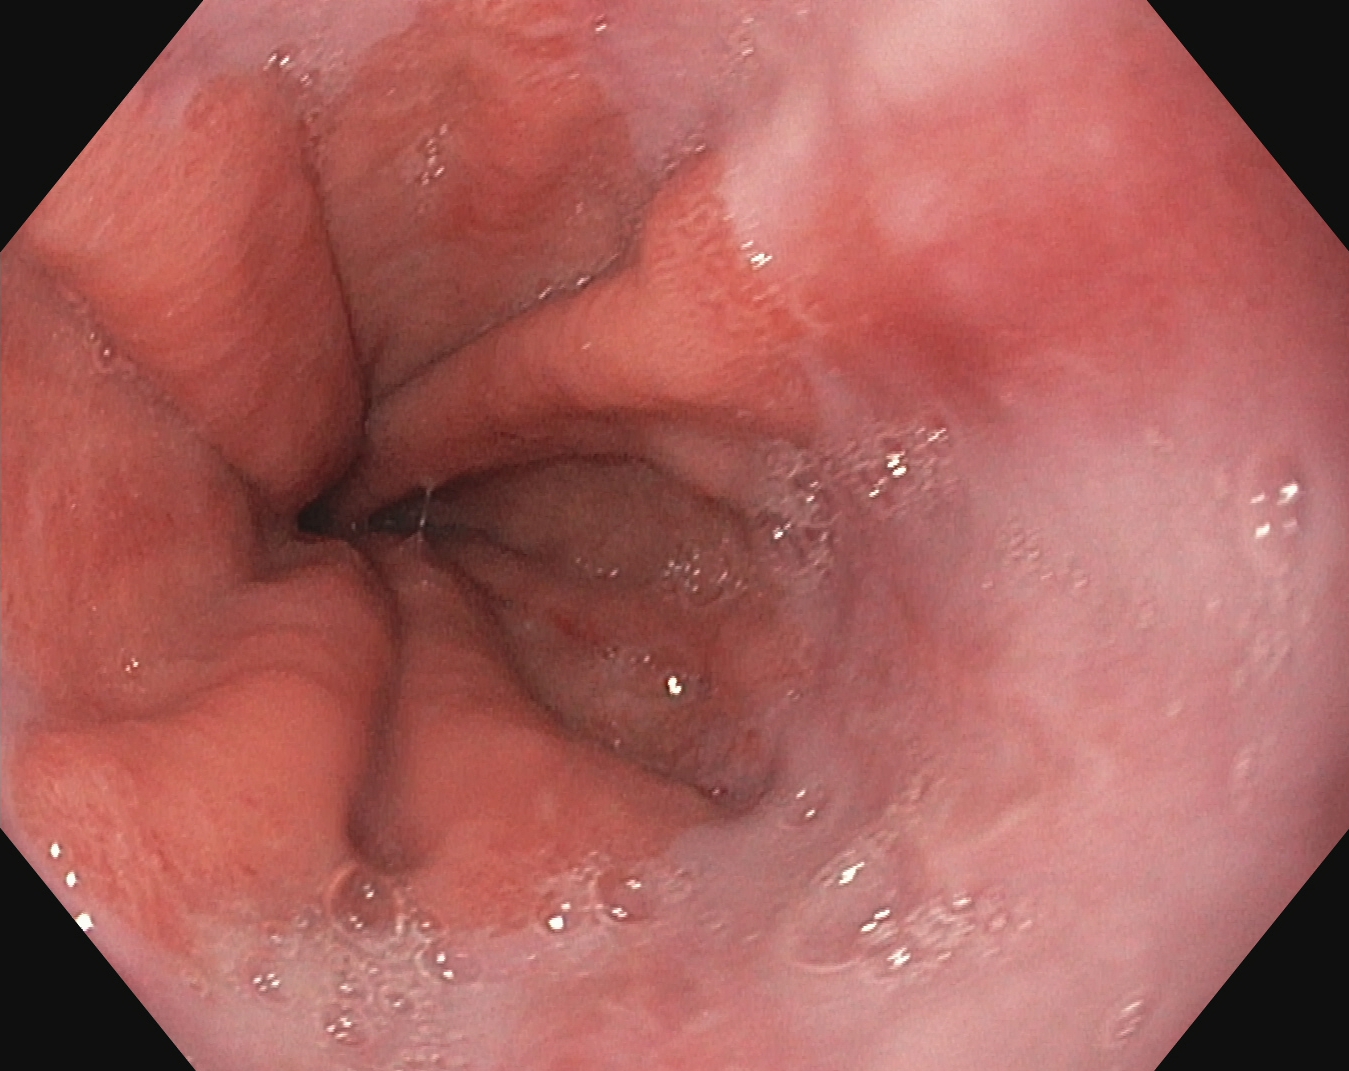PROCEDURE: Esophagogastroduodenoscopy.
FINDINGS: Z-line (gastroesophageal junction).